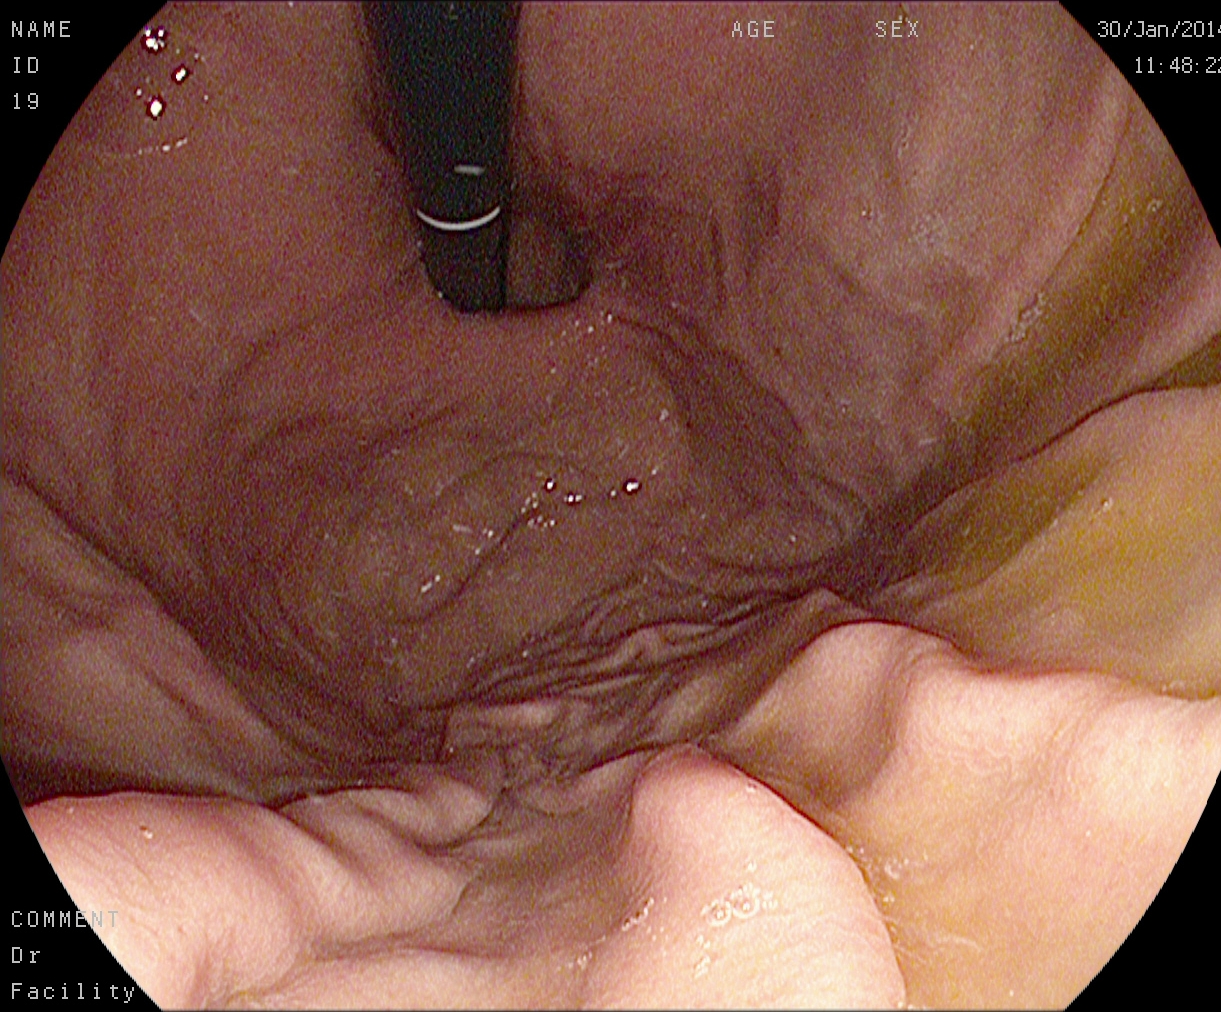Upper-GI endoscopy. Finding: stomach in retroflexion.